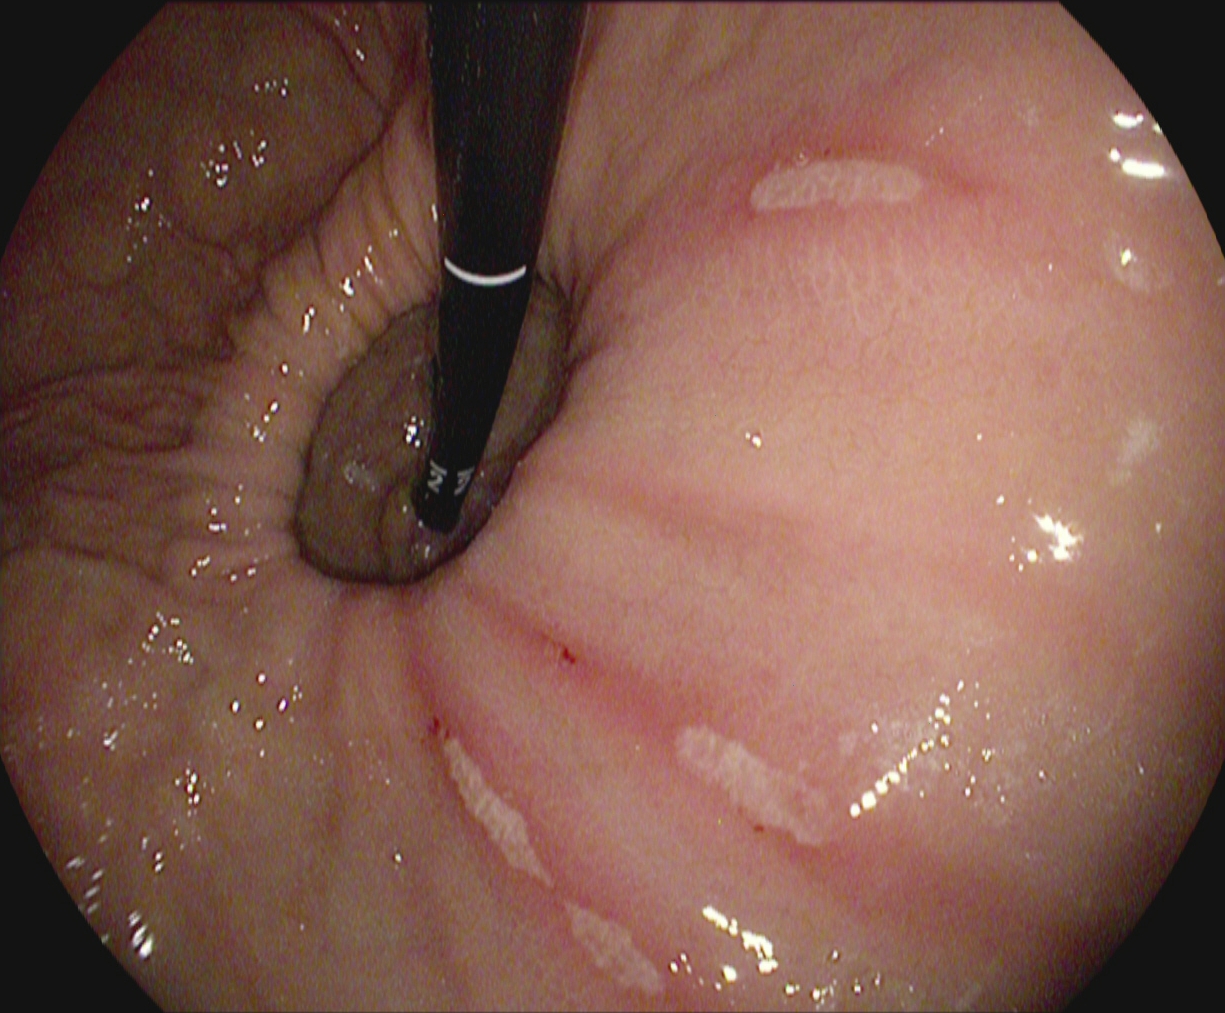modality: upper-GI endoscopy
finding: stomach in retroflexion